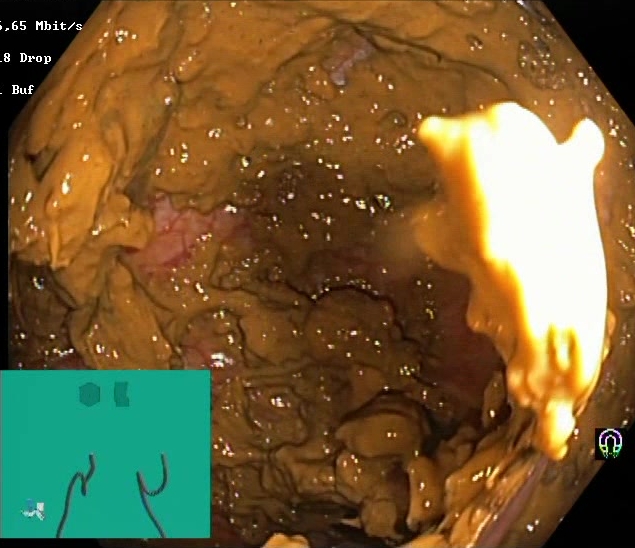This endoscopy frame of the lower GI tract shows Boston Bowel Preparation Scale score 0–1 (inadequate preparation).